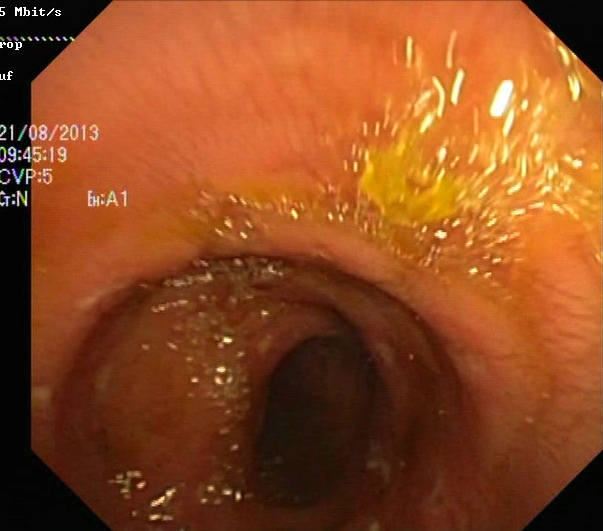{"modality": "colonoscopy", "tract": "lower GI tract", "finding": "ulcerative colitis, Mayo endoscopic subscore 2"}